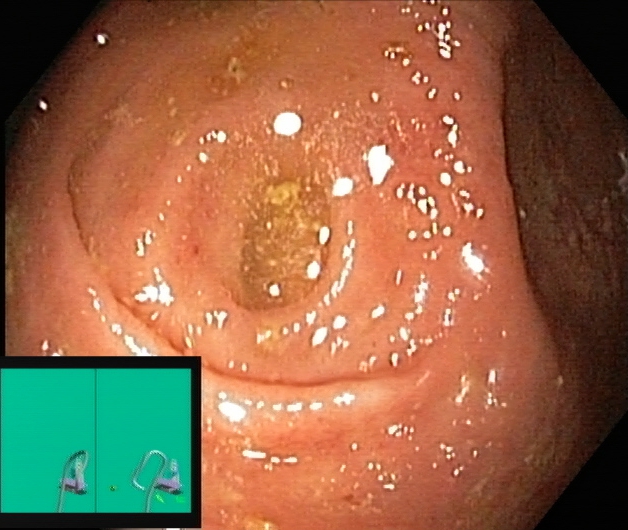Cecum.